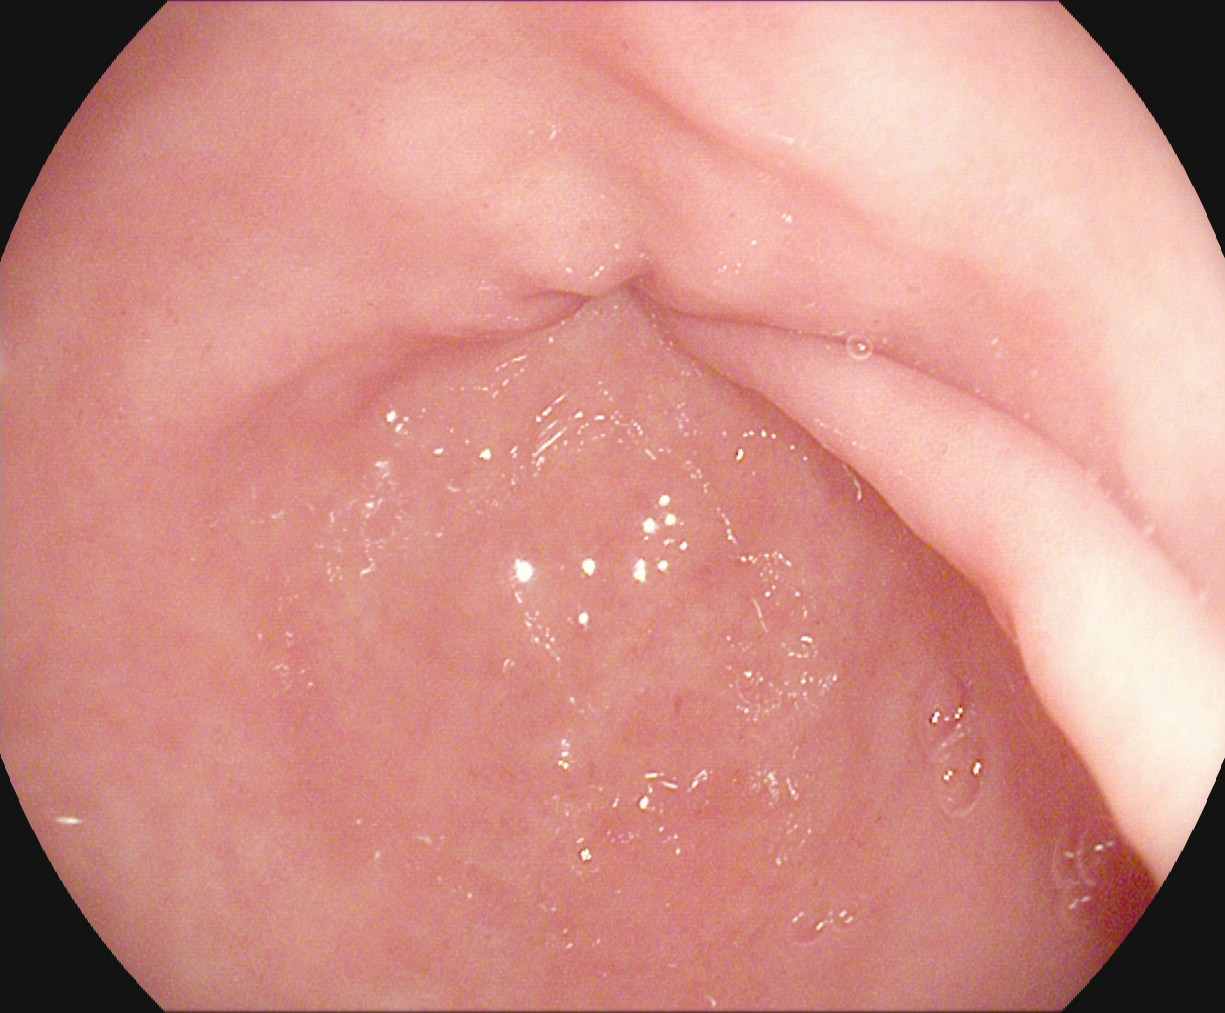{"modality": "gastroscopy", "finding": "pylorus"}